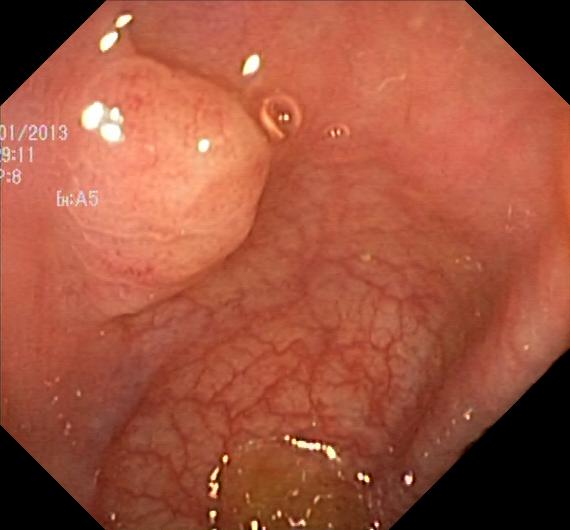{"modality": "lower gastrointestinal endoscopy", "finding": "colorectal polyp(s)"}